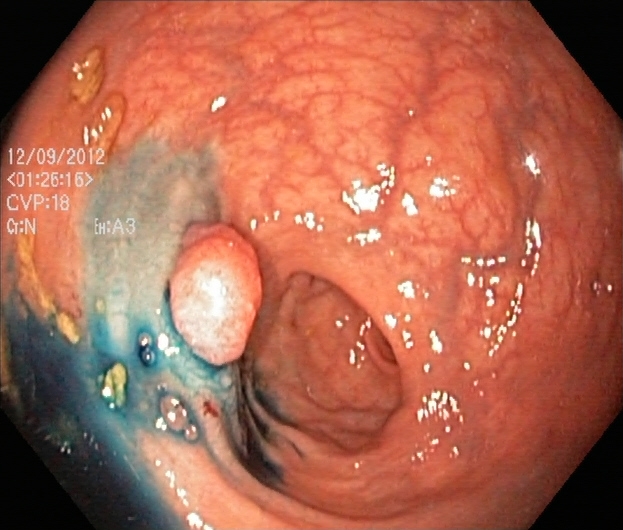dyed and lifted polyp (pre-resection).